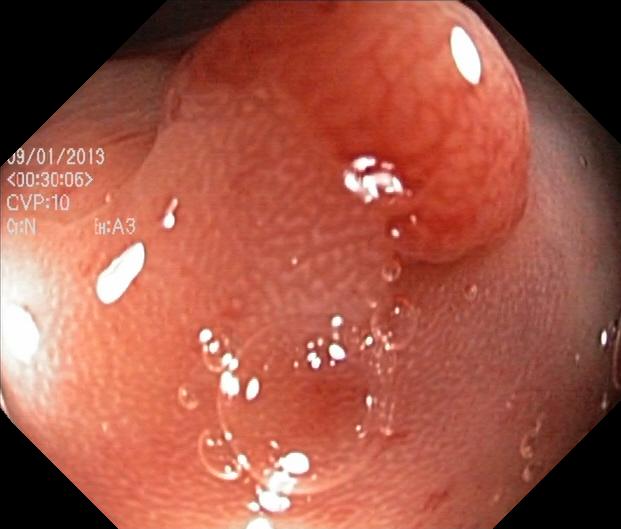modality: colonoscopy; tract: lower GI tract; finding: colorectal polyp(s)